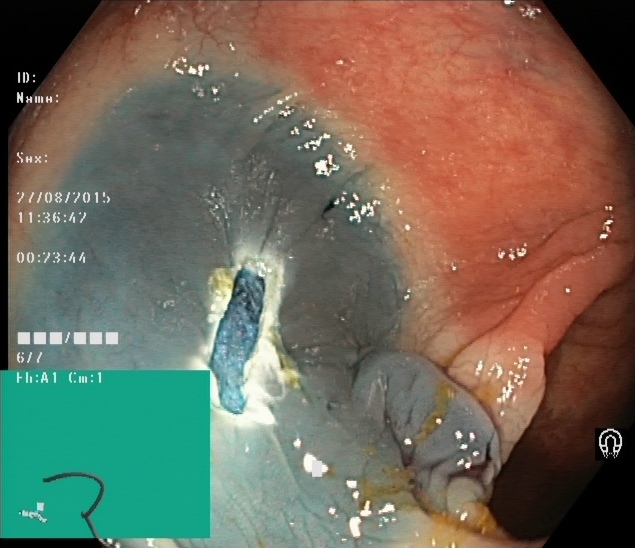modality: colonoscopy; tract: lower GI tract; finding: dyed resection margins (post-polypectomy)